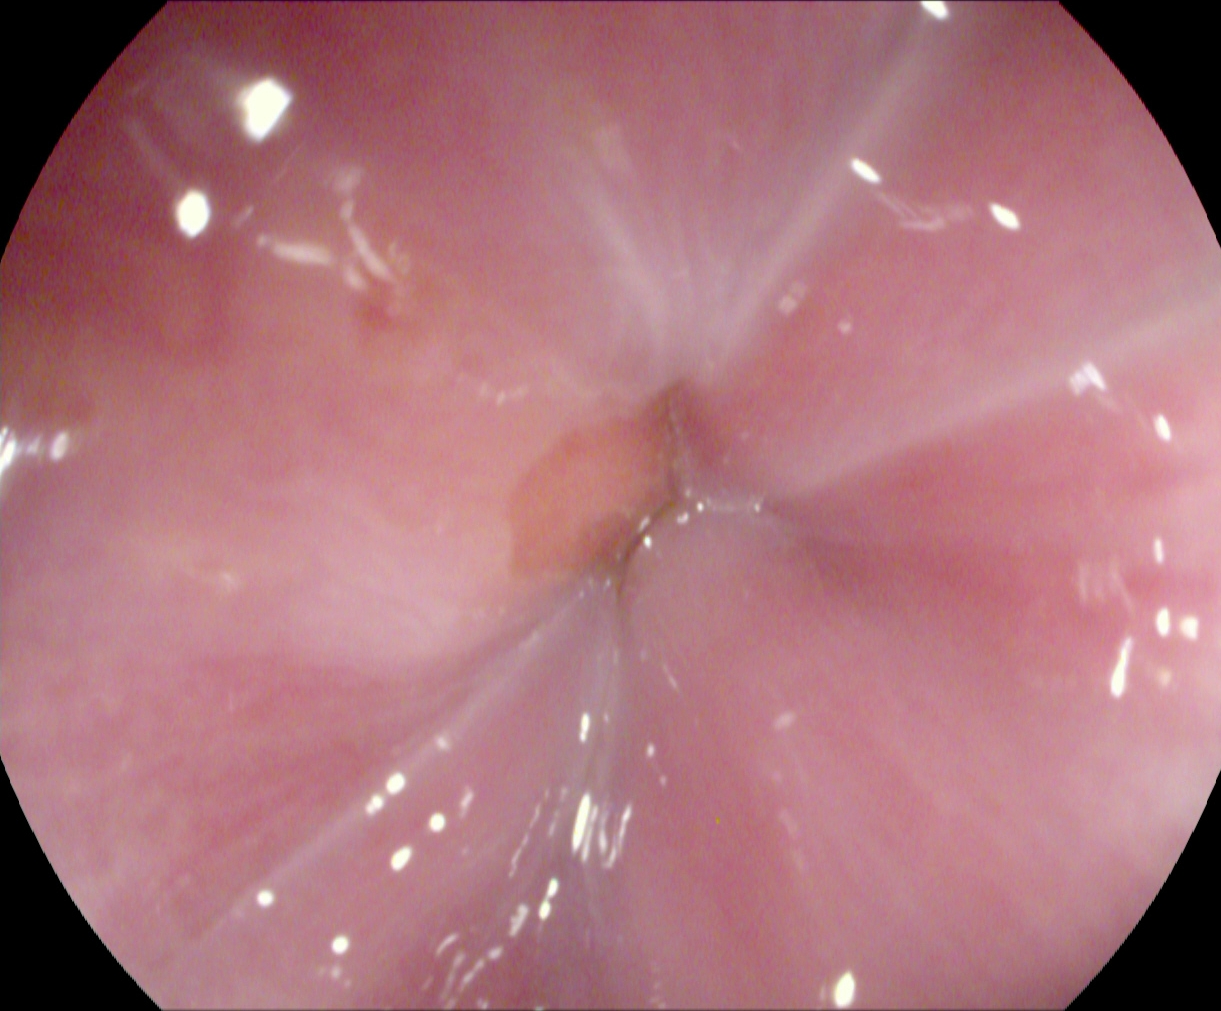modality: esophagogastroduodenoscopy; finding: Z-line (gastroesophageal junction)